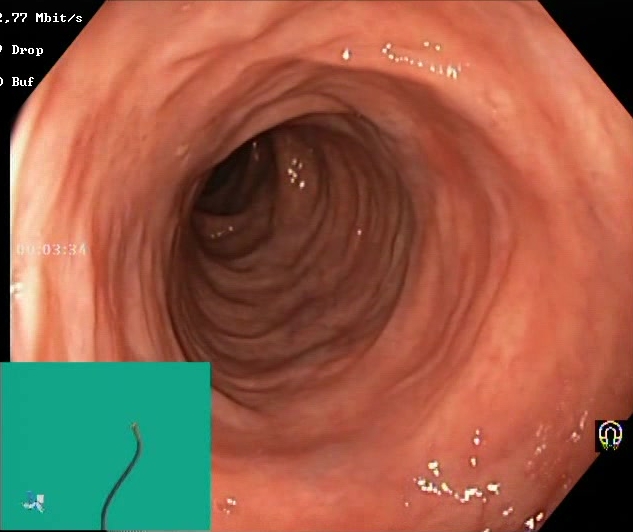Lower gastrointestinal endoscopy. Tract: lower GI tract. Finding: Boston Bowel Preparation Scale score 2–3 (adequate preparation).